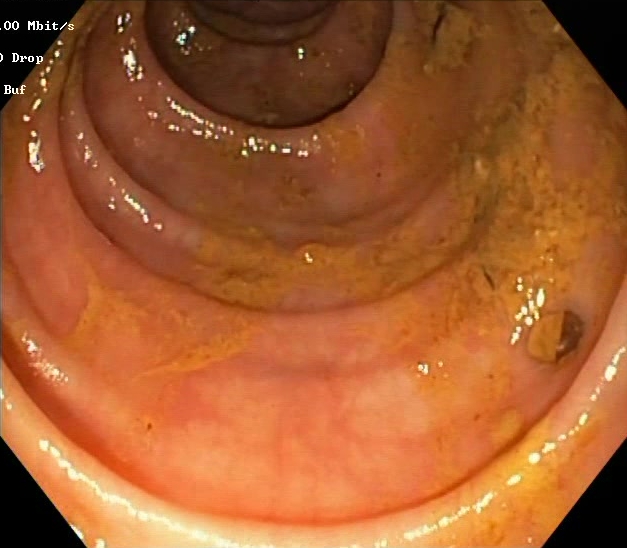Lower gastrointestinal endoscopy. Tract: lower GI tract. Finding: Boston Bowel Preparation Scale score 0–1 (inadequate preparation).